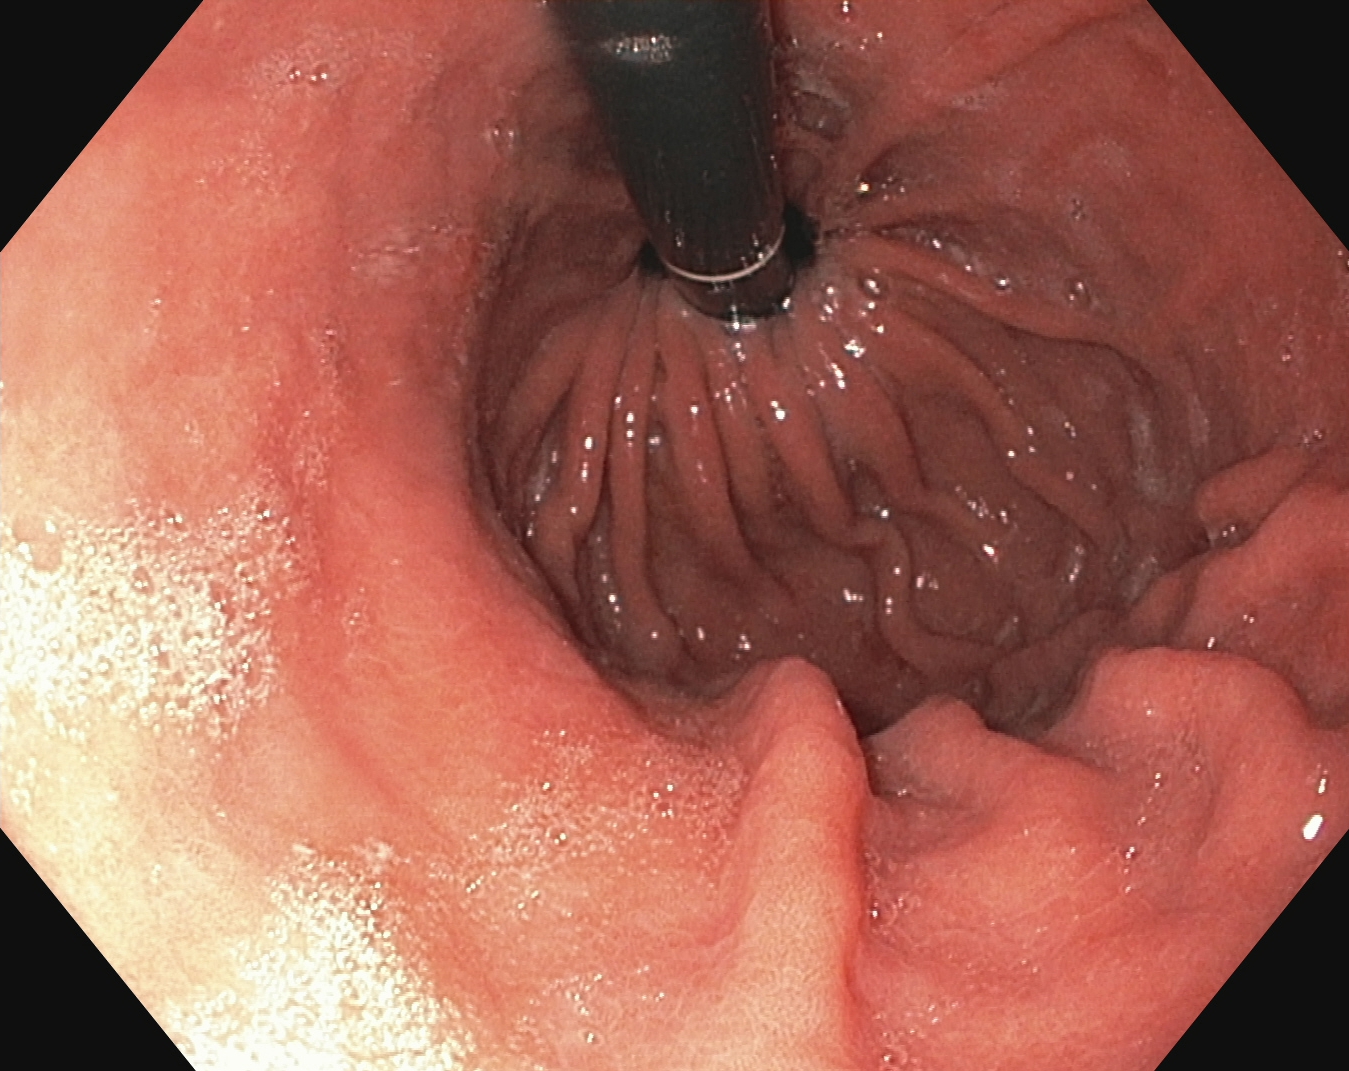PROCEDURE: Esophagogastroduodenoscopy.
FINDINGS: Stomach in retroflexion.